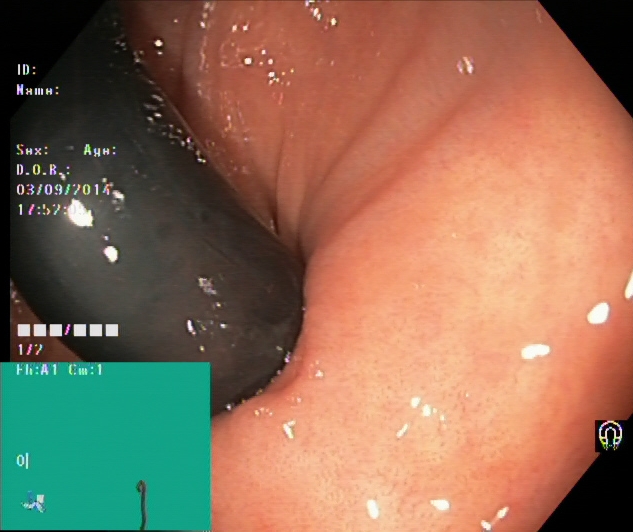This endoscopic image of the lower GI tract shows rectum in retroflexion.